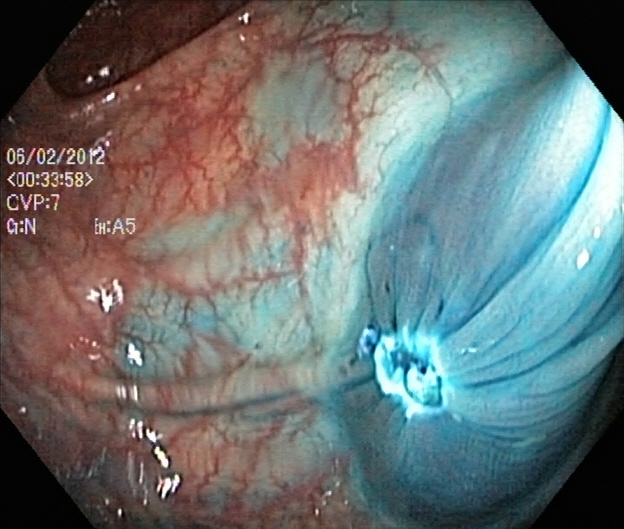This endoscopic image shows dyed resection margins (post-polypectomy).